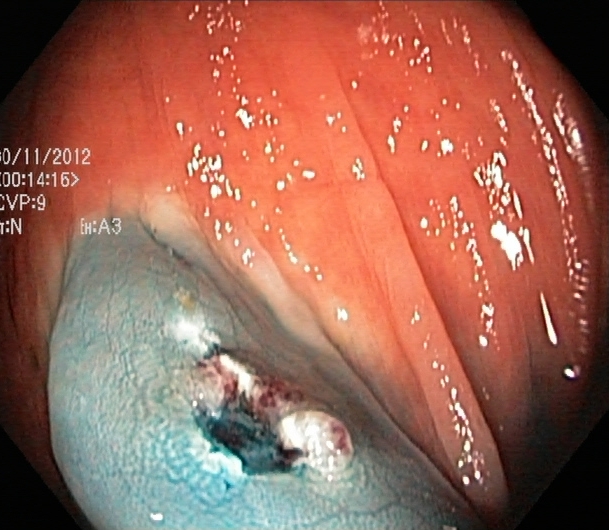Colonoscopy. Therapeutic intervention. Finding: dyed resection margins (post-polypectomy).